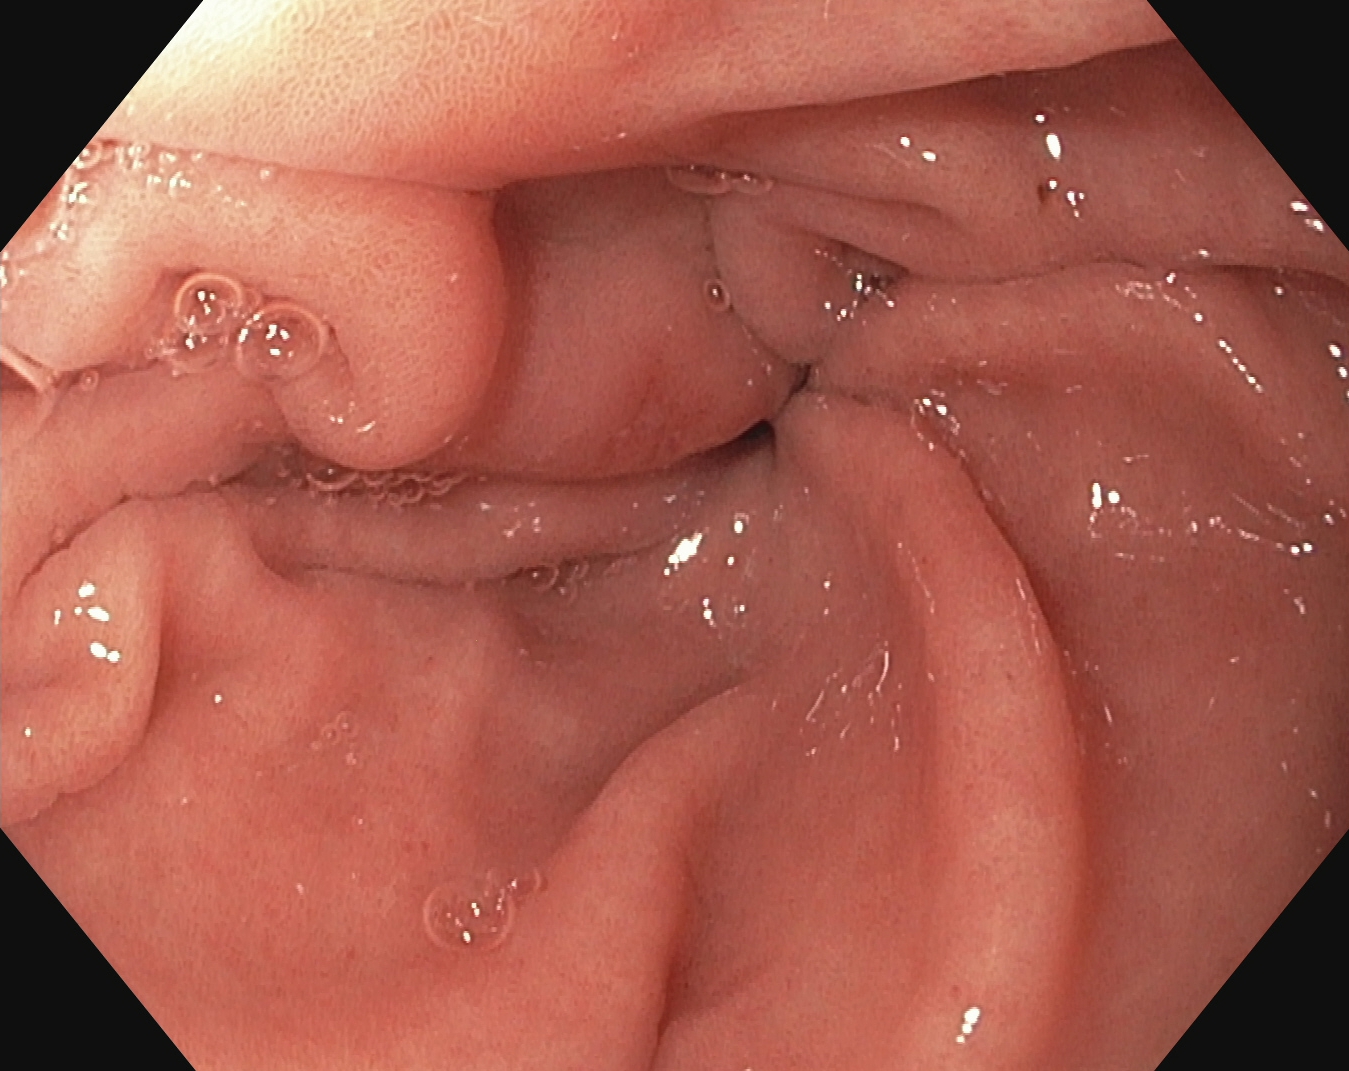{"modality": "EGD", "tract": "upper GI tract", "category": "anatomical landmark", "finding": "pylorus"}